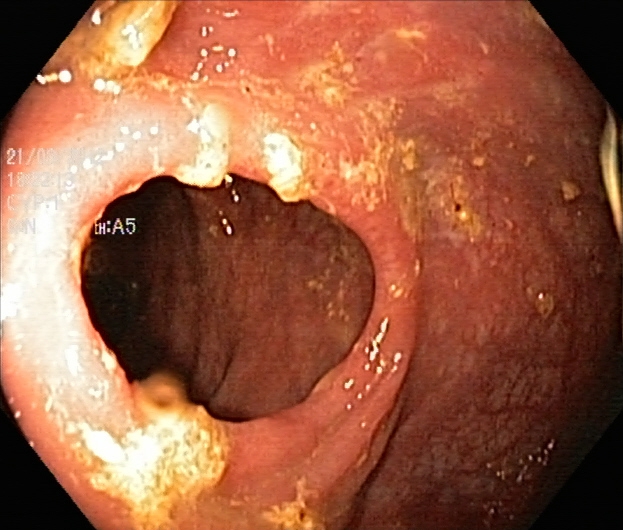PROCEDURE: Lower-GI endoscopy.
CATEGORY: Pathological finding.
FINDINGS: Ulcerative colitis, Mayo endoscopic subscore 1.